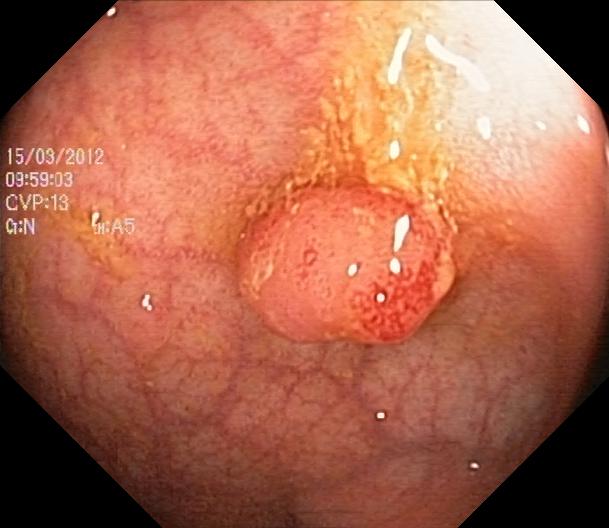Colorectal polyp(s).